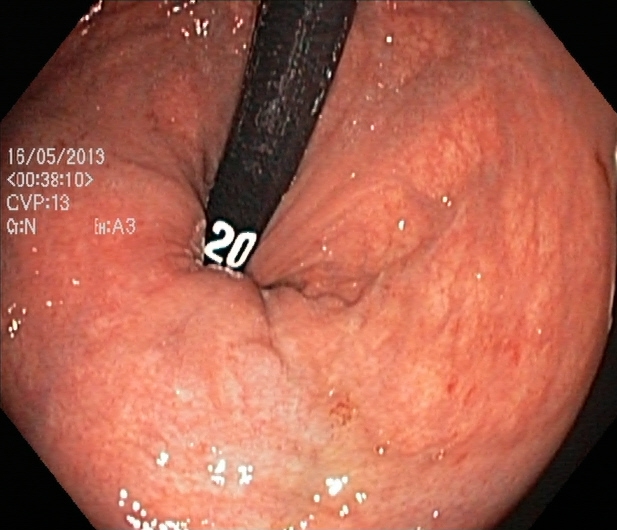modality: lower-GI endoscopy; tract: lower GI tract; category: anatomical landmark; finding: rectum in retroflexion